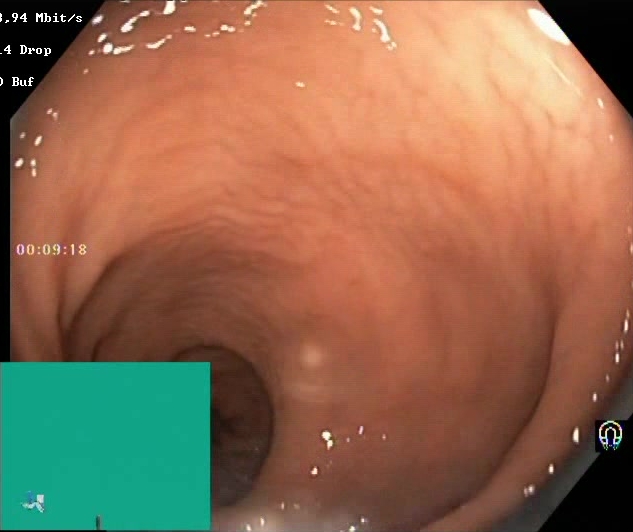modality: colonoscopy; tract: lower GI tract; category: mucosal-view quality; finding: BBPS score 2–3 (adequate preparation)